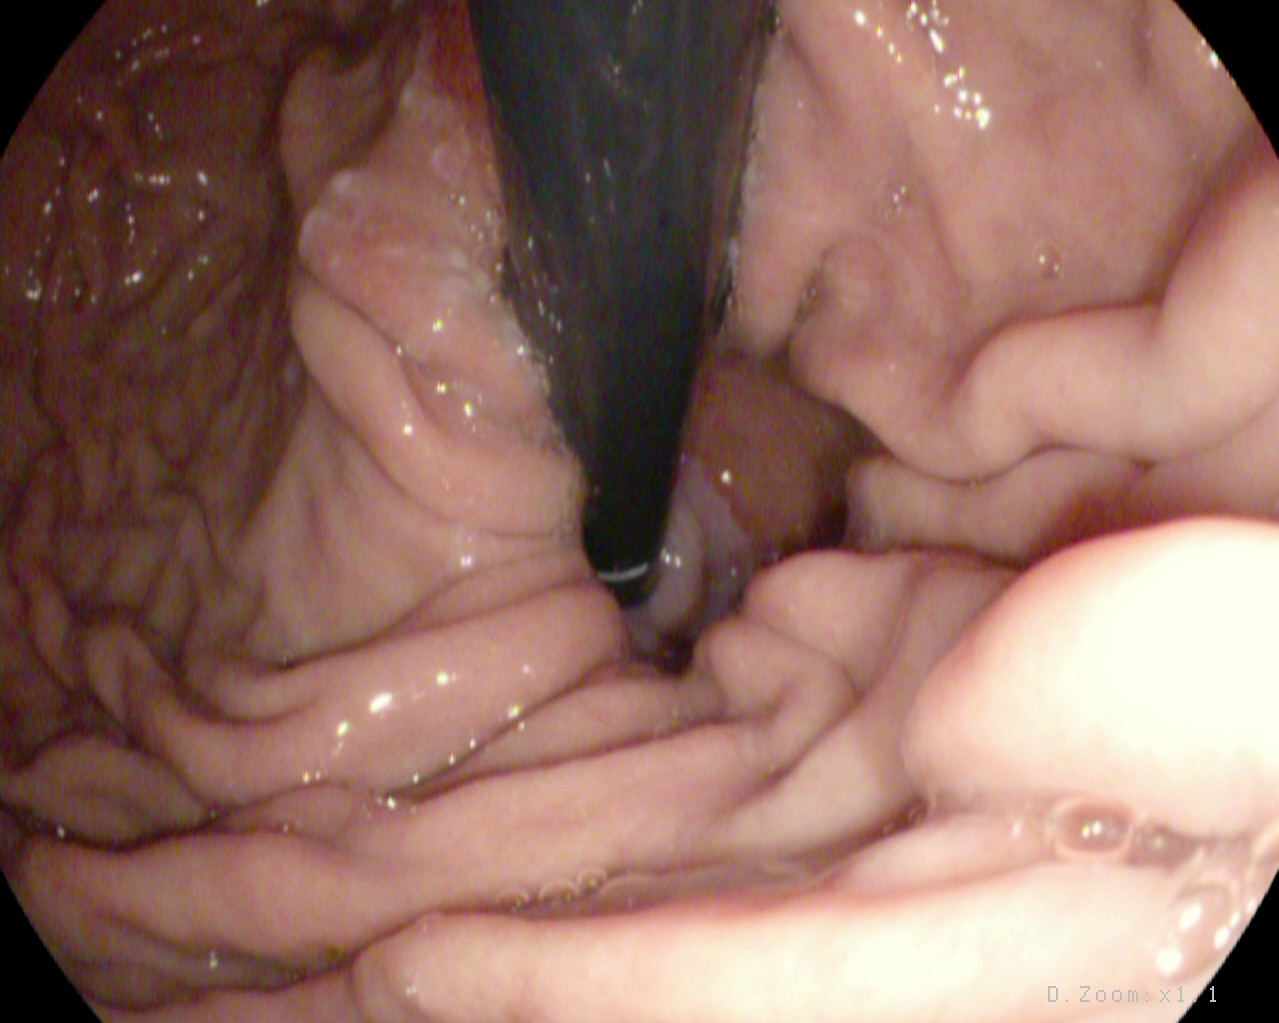This endoscopy frame of the upper GI tract shows stomach in retroflexion.